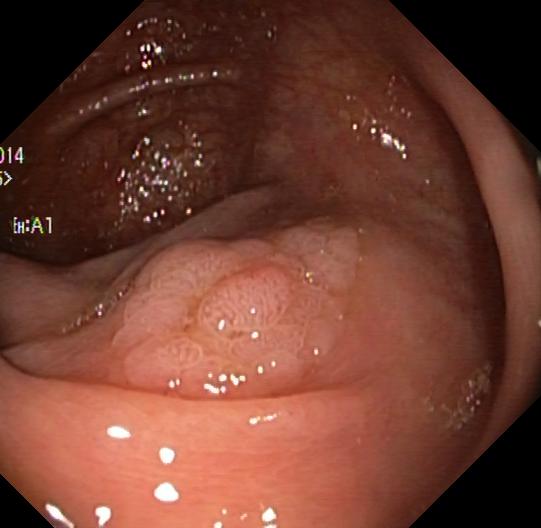{"modality": "lower-GI endoscopy", "tract": "lower GI tract", "category": "pathological finding", "finding": "colorectal polyp(s)"}